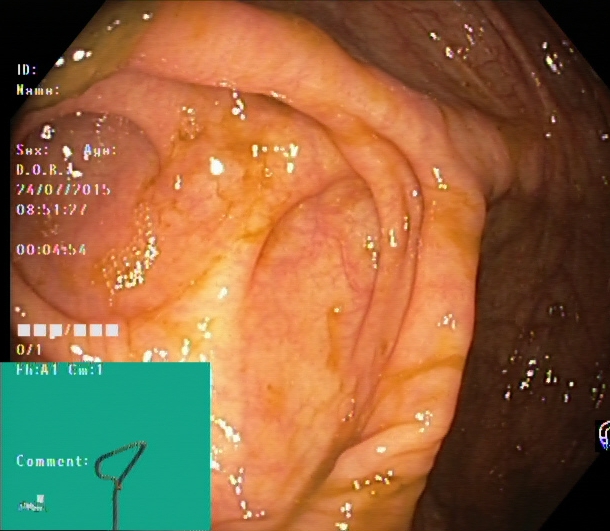Lower gastrointestinal endoscopy — cecum.